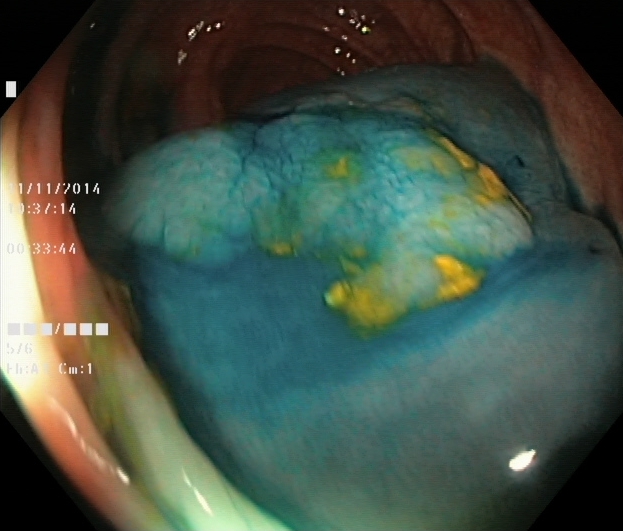Colonoscopy — dyed and lifted polyp (pre-resection).